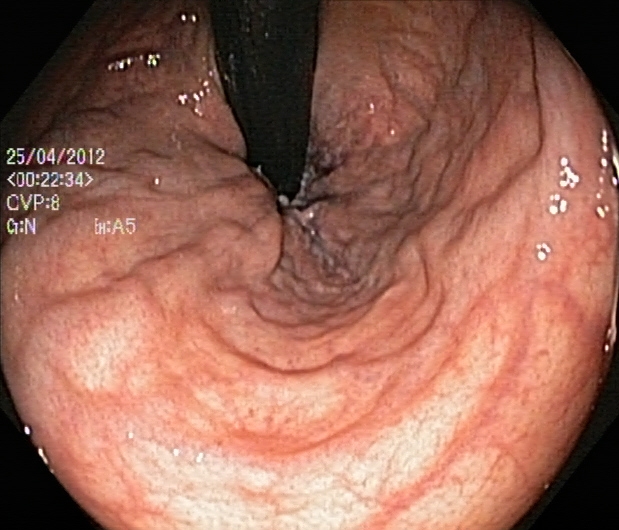Rectum in retroflexion.